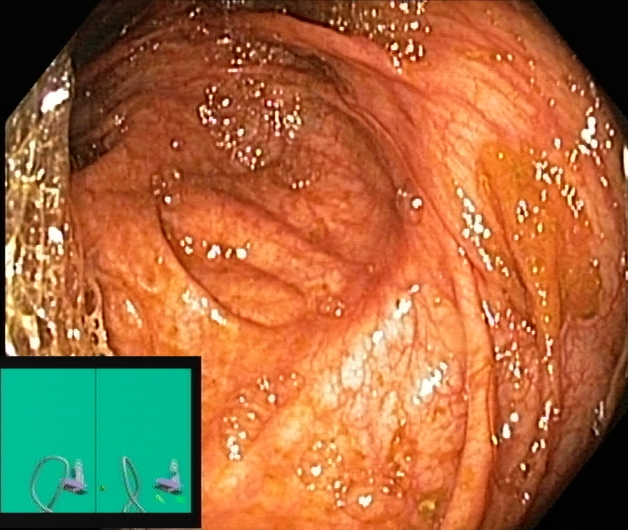Cecum.